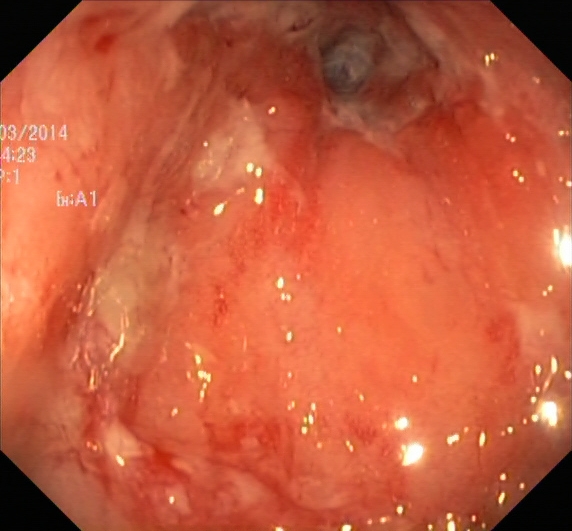Colonoscopy image showing ulcerative colitis, Mayo endoscopic subscore 2.